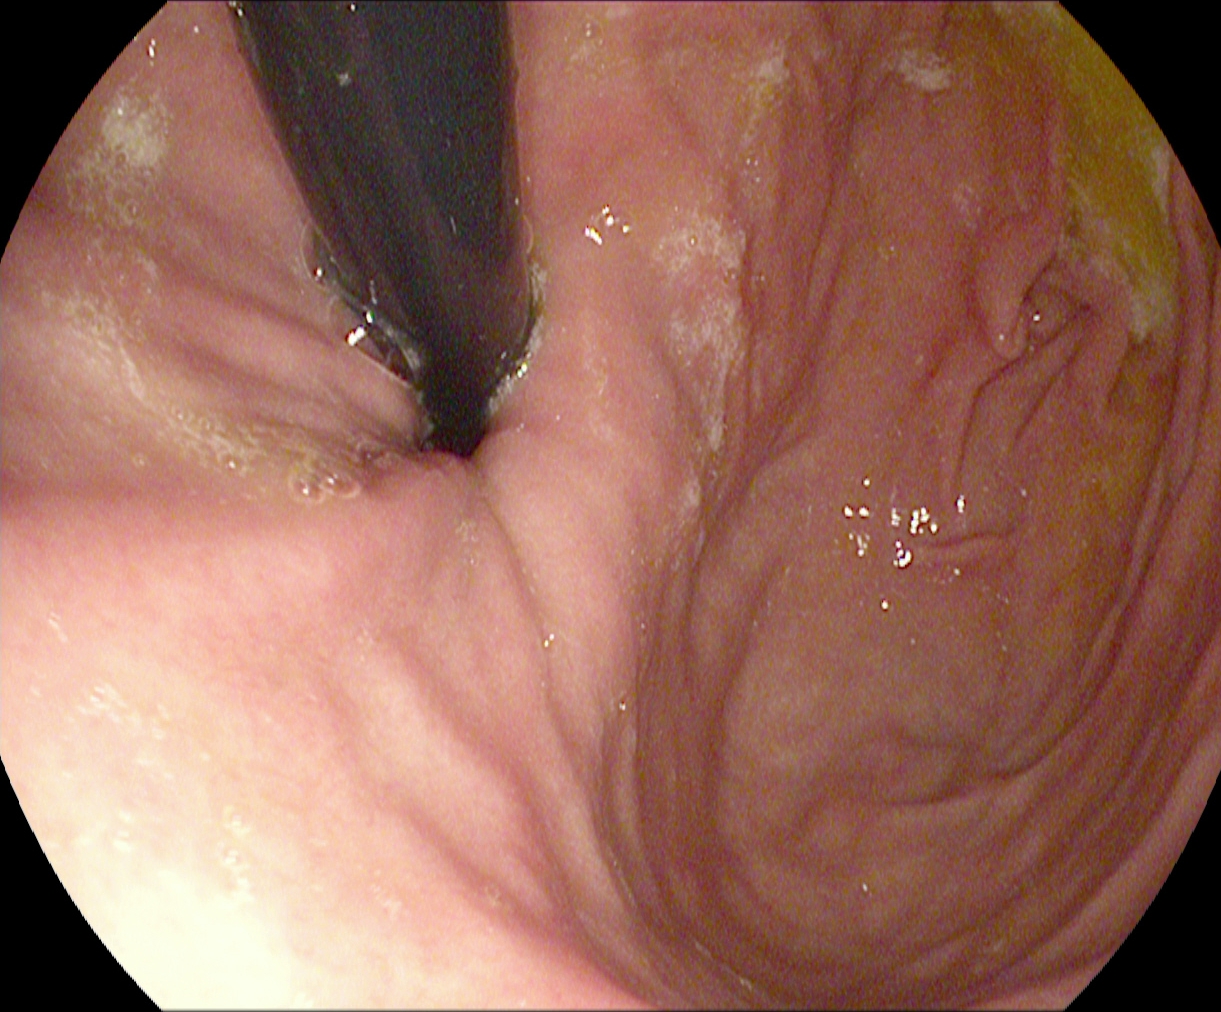This endoscopic image of the upper GI tract shows stomach in retroflexion.